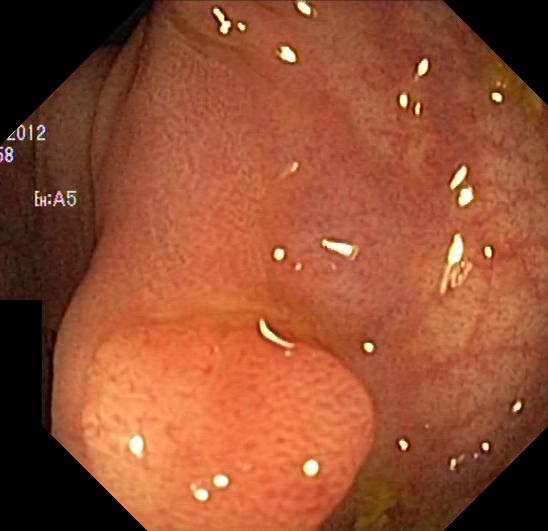This endoscopy frame of the lower GI tract shows colorectal polyp(s).